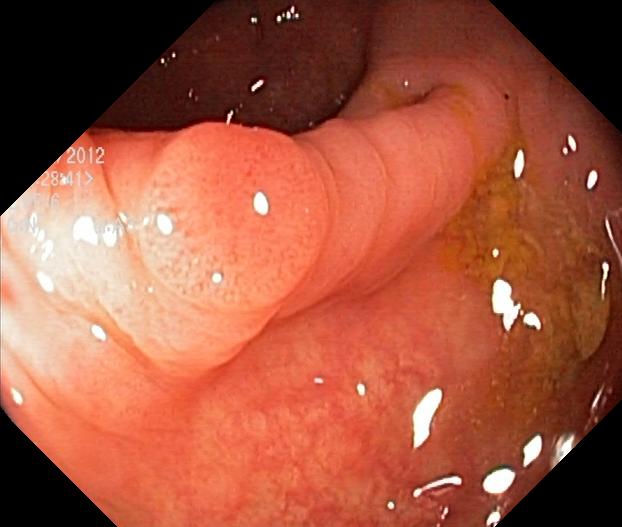{"modality": "lower-GI endoscopy", "tract": "lower GI tract", "category": "pathological finding", "finding": "colorectal polyp(s)"}